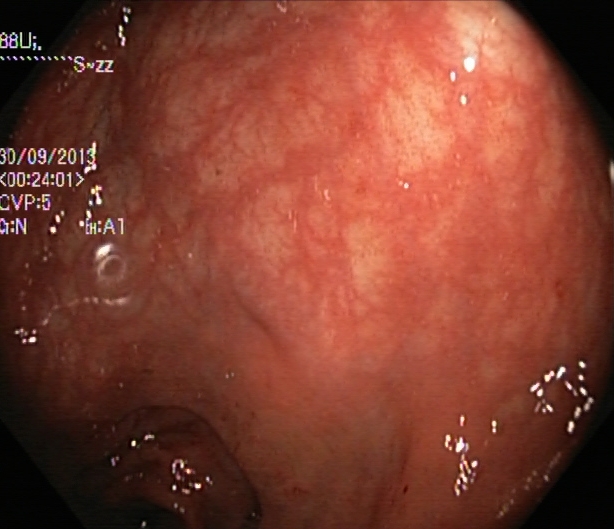PROCEDURE: Lower-GI endoscopy.
CATEGORY: Pathological finding.
FINDINGS: Ulcerative colitis, Mayo endoscopic subscore 0–1.